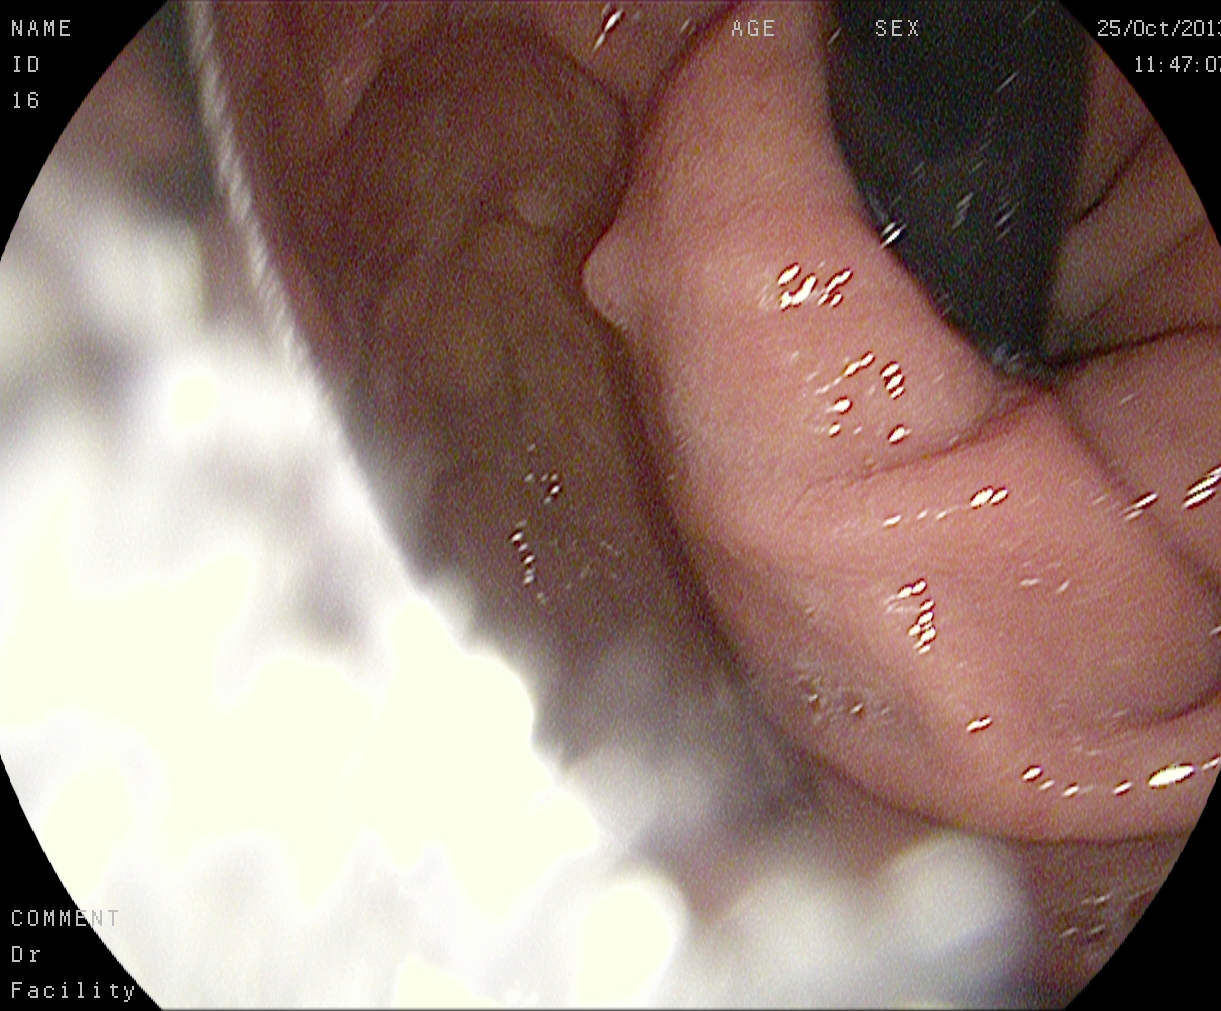Endoscopic frame of the upper GI tract showing stomach in retroflexion.